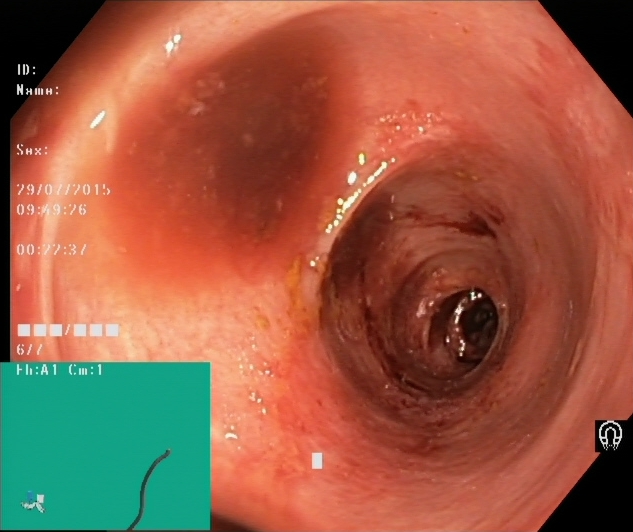Ulcerative colitis, Mayo endoscopic subscore 2.